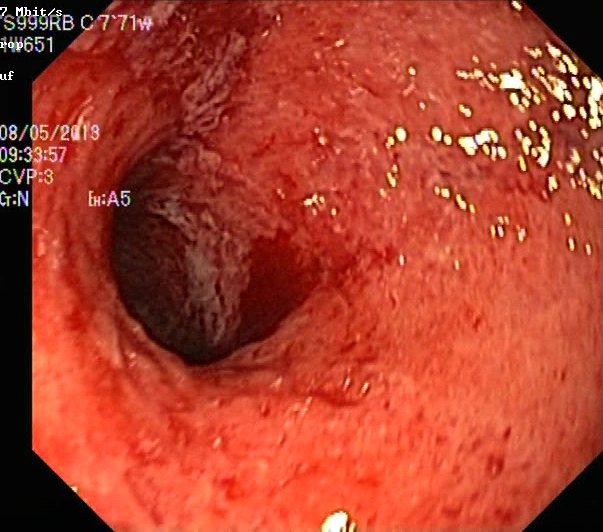Lower-GI endoscopy image of the lower GI tract showing UC, Mayo endoscopic subscore 3.